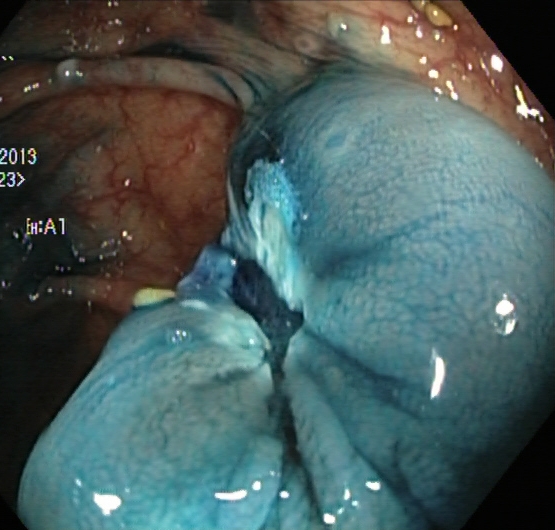Dyed resection margins (post-polypectomy).